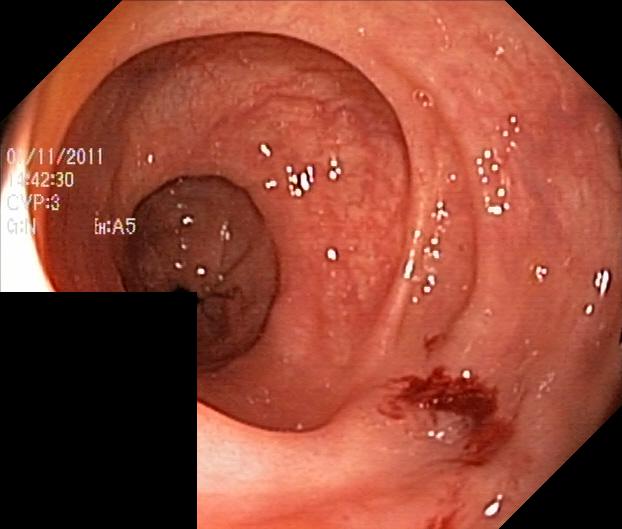{"modality": "lower gastrointestinal endoscopy", "tract": "lower GI tract", "finding": "colorectal polyp(s)"}